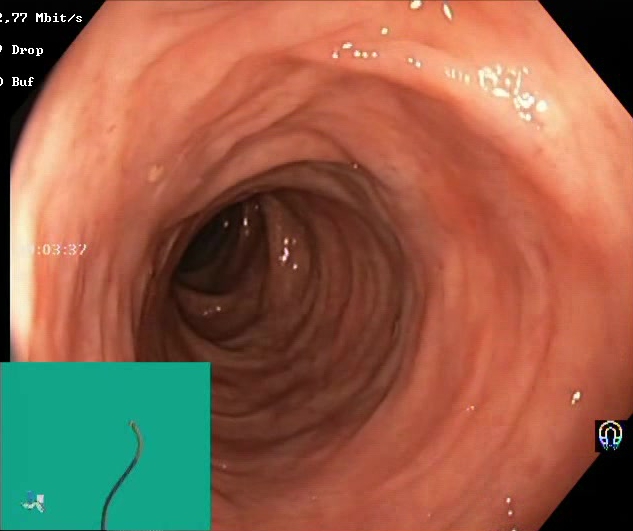{"modality": "colonoscopy", "tract": "lower GI tract", "finding": "Boston Bowel Preparation Scale score 2\u20133 (adequate preparation)"}